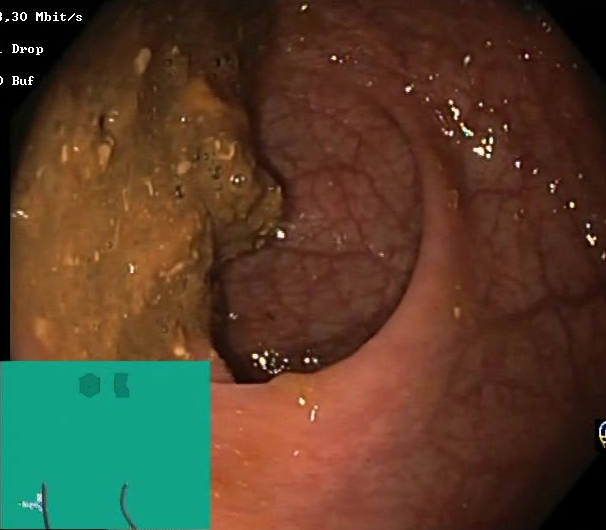modality: colonoscopy
tract: lower GI tract
finding: Boston Bowel Preparation Scale score 0–1 (inadequate preparation)